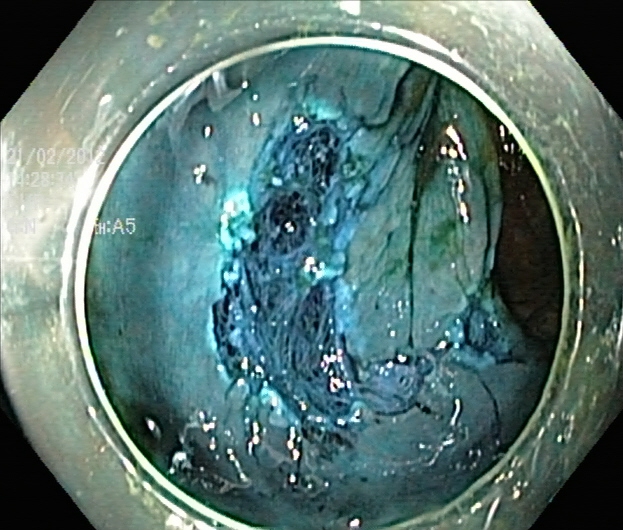{"modality": "lower gastrointestinal endoscopy", "finding": "dyed resection margins (post-polypectomy)"}